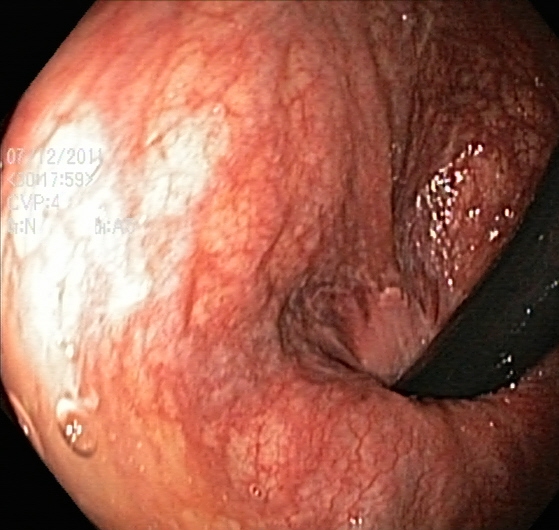Colonoscopy. Tract: lower GI tract. Anatomical landmark. Finding: rectum in retroflexion.